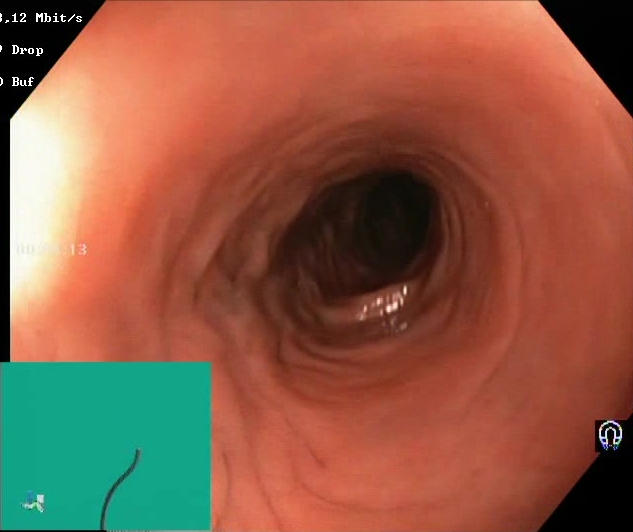BBPS score 2–3 (adequate preparation).